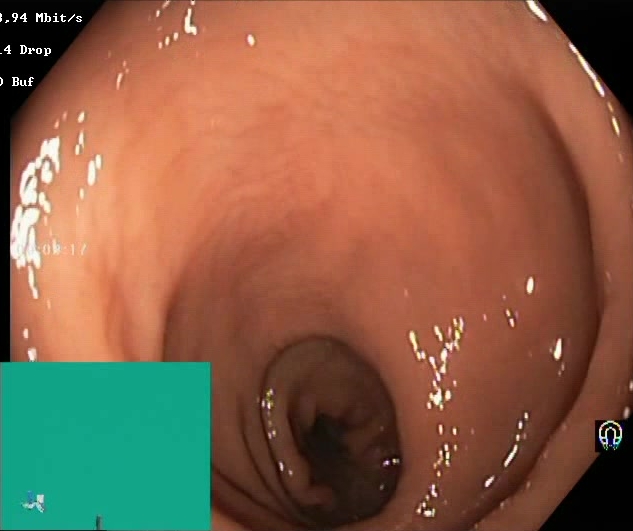PROCEDURE: Lower gastrointestinal endoscopy.
FINDINGS: Boston Bowel Preparation Scale score 2–3 (adequate preparation).